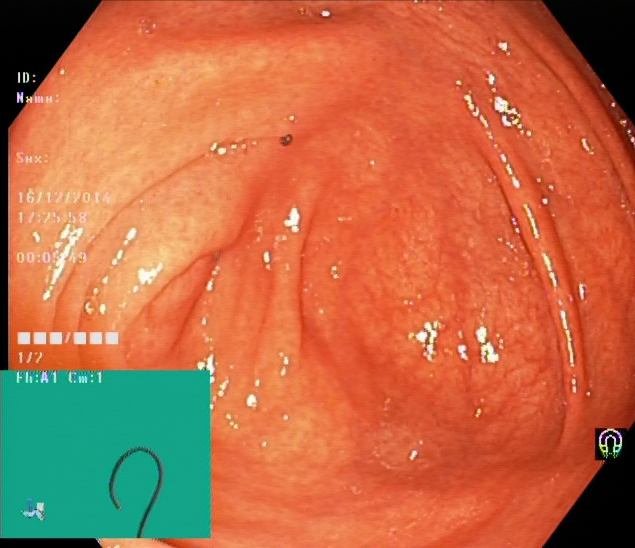cecum.